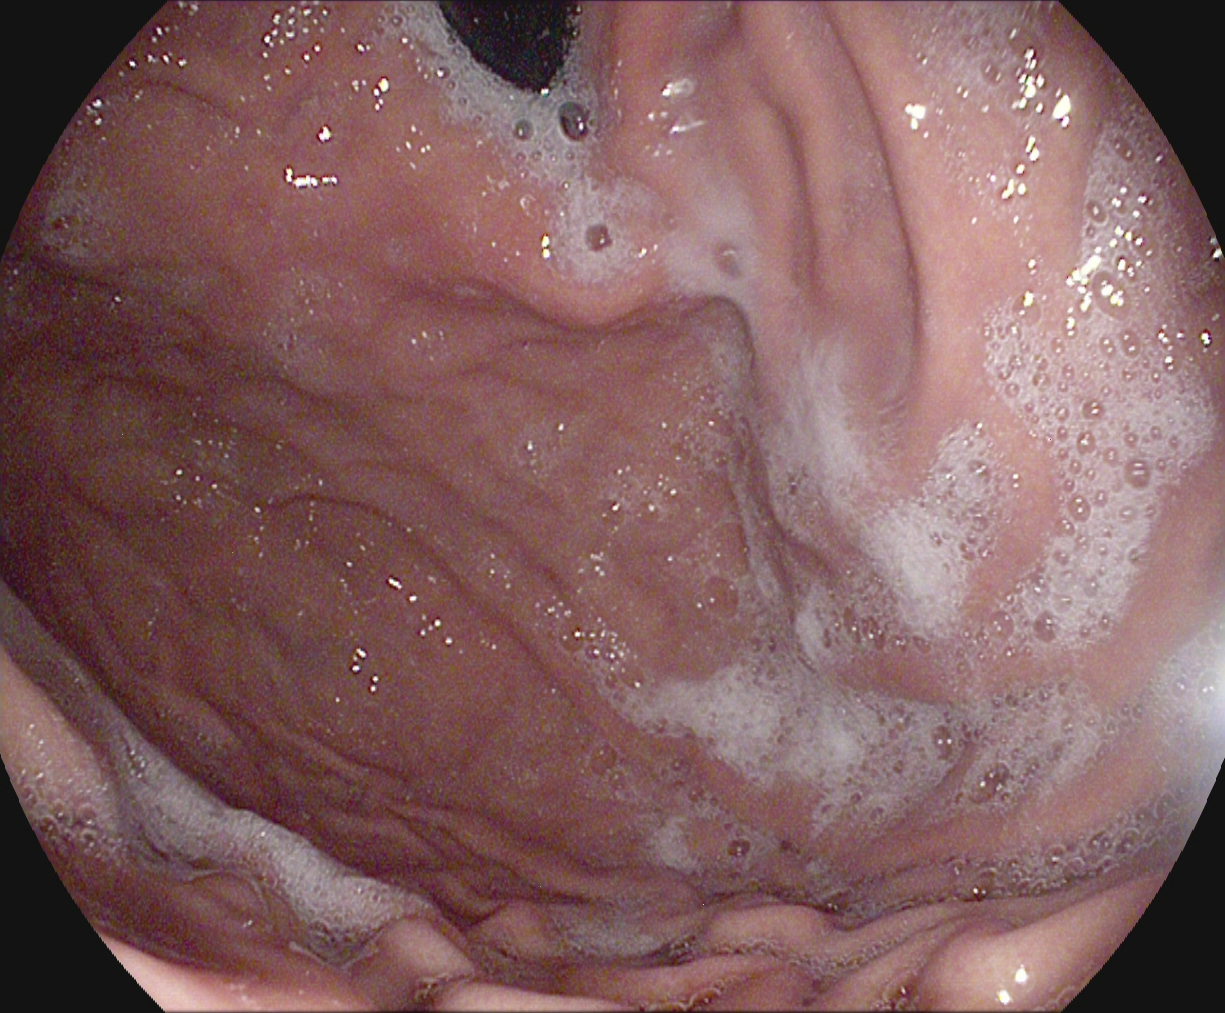This endoscopic image of the upper GI tract shows stomach in retroflexion.